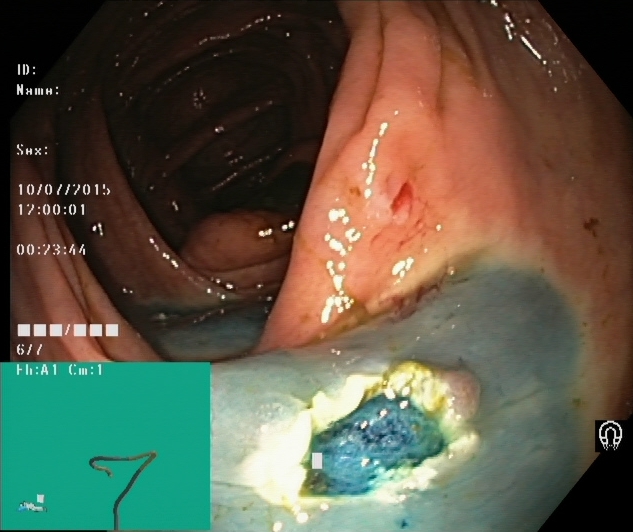This endoscopic image shows dyed resection margins (post-polypectomy).